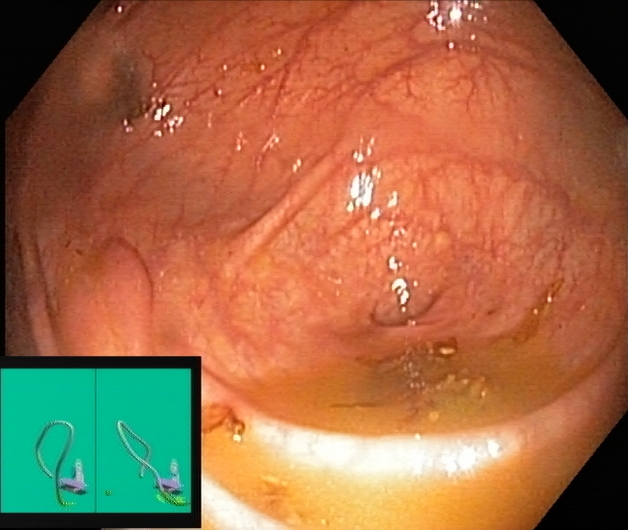This endoscopy frame of the lower GI tract shows cecum.